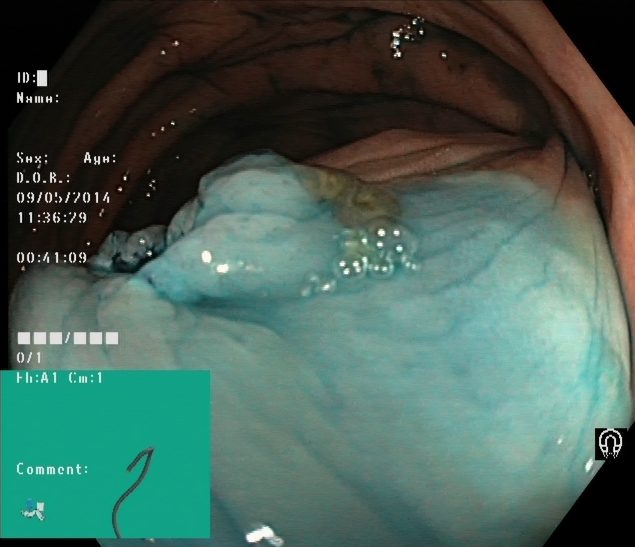GI endoscopy image of the lower GI tract showing dyed and lifted polyp (pre-resection).